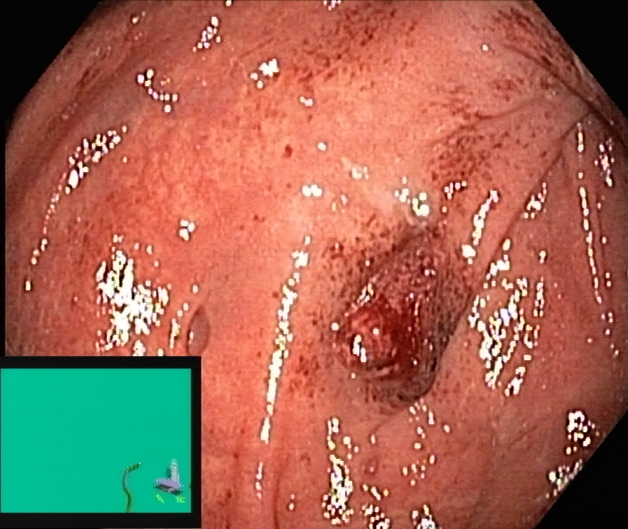Colonoscopy. Tract: lower GI tract. Finding: UC, Mayo endoscopic subscore 1–2.